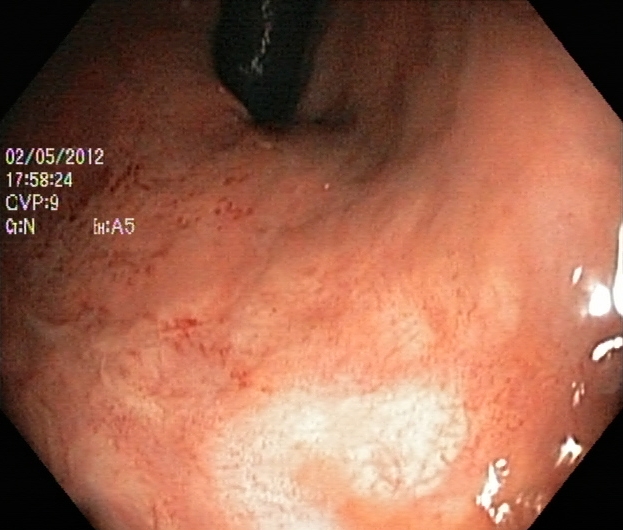Lower gastrointestinal endoscopy — rectum in retroflexion.